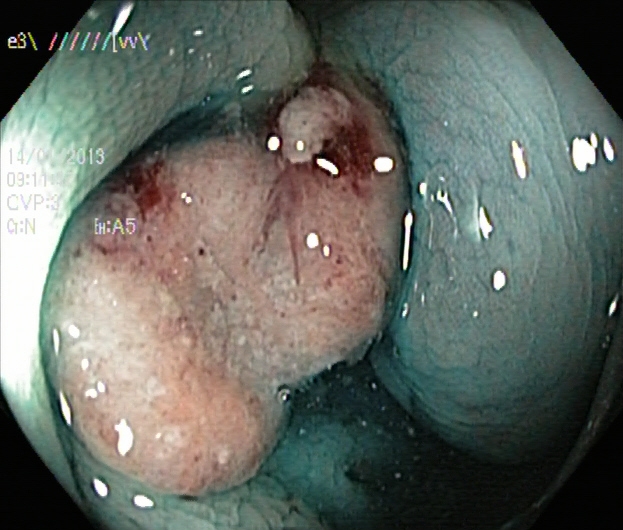GI endoscopy image of the lower GI tract showing dyed and lifted polyp (pre-resection).